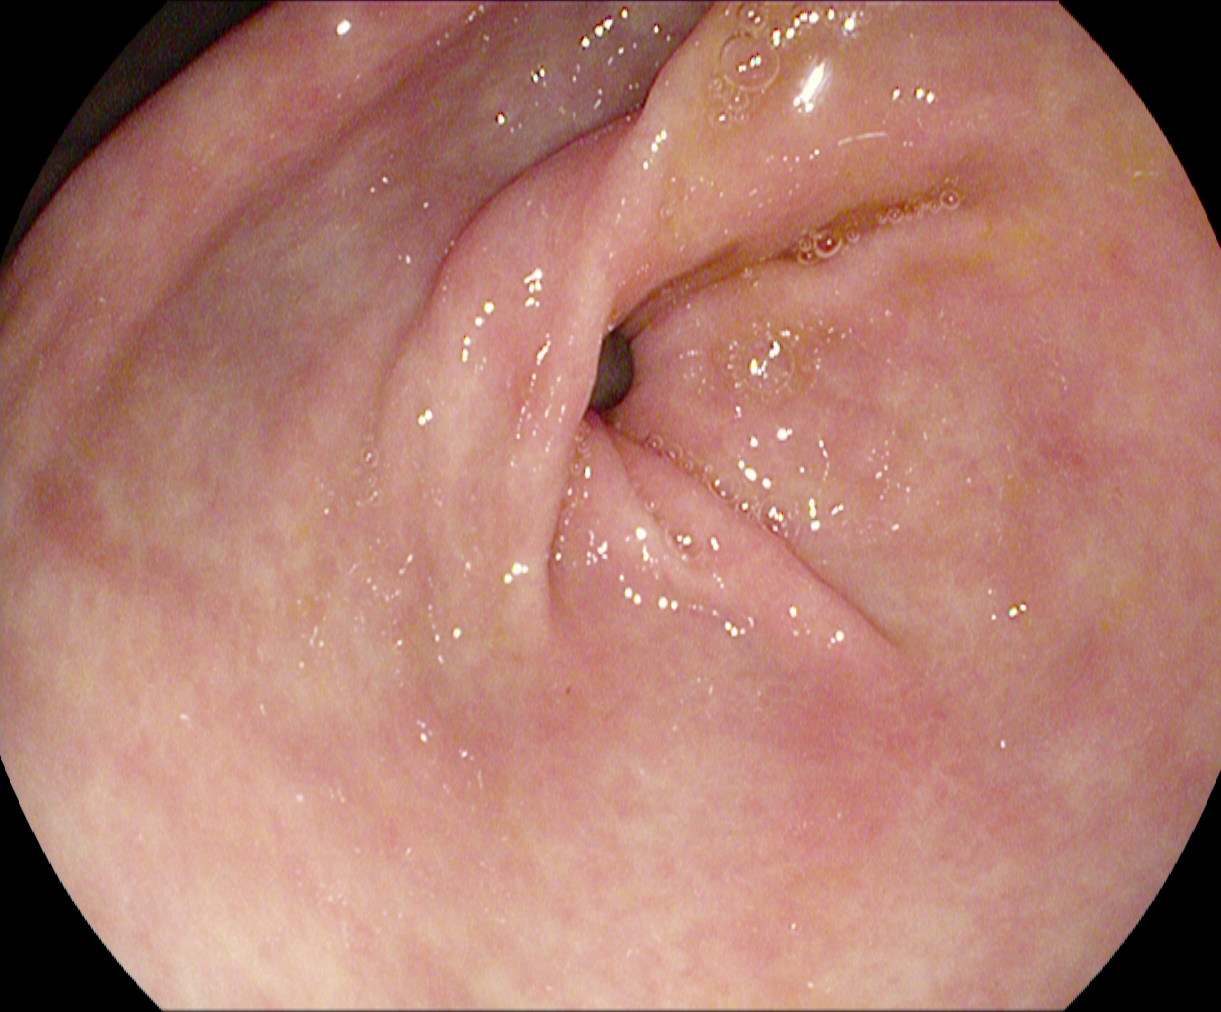{"modality": "upper-GI endoscopy", "tract": "upper GI tract", "category": "anatomical landmark", "finding": "pylorus"}